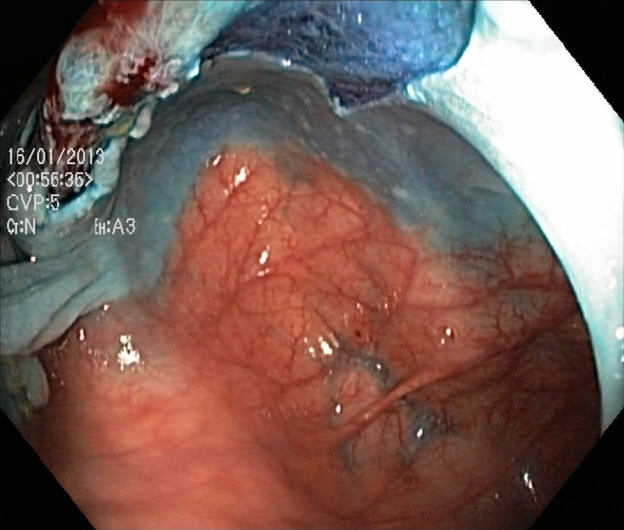Dyed resection margins (post-polypectomy).